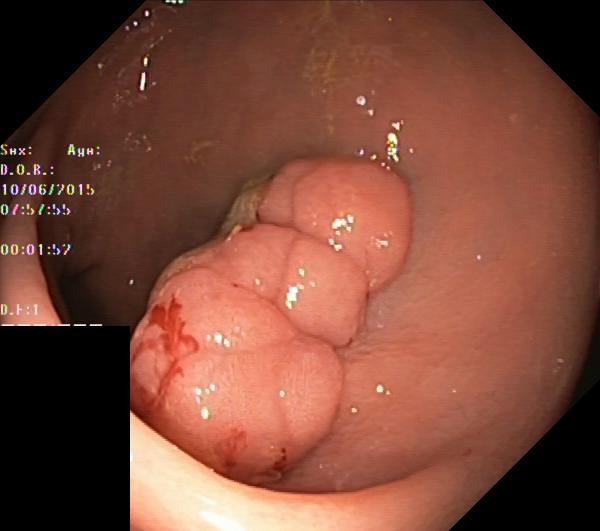Lower gastrointestinal endoscopy — colorectal polyp(s).